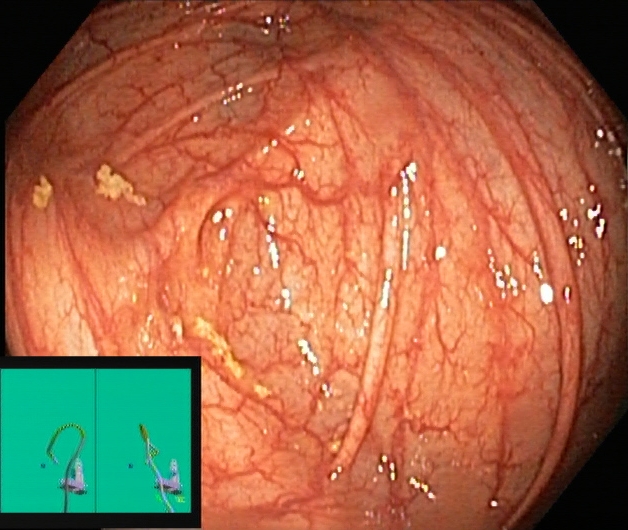Endoscopic frame showing cecum.